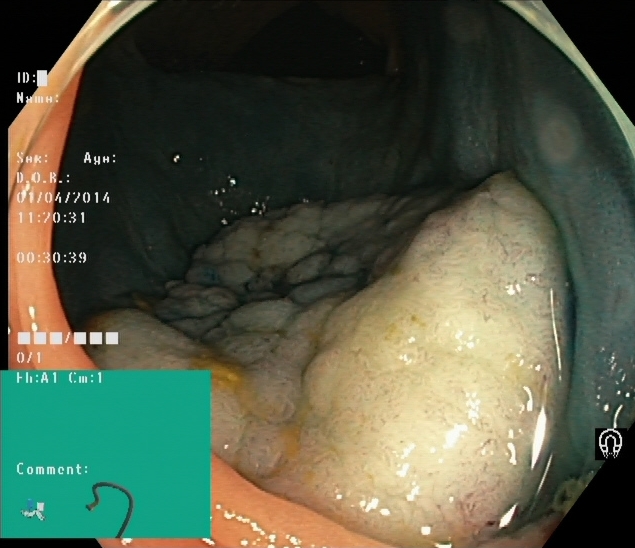modality: lower-GI endoscopy; category: therapeutic intervention; finding: dyed and lifted polyp (pre-resection)